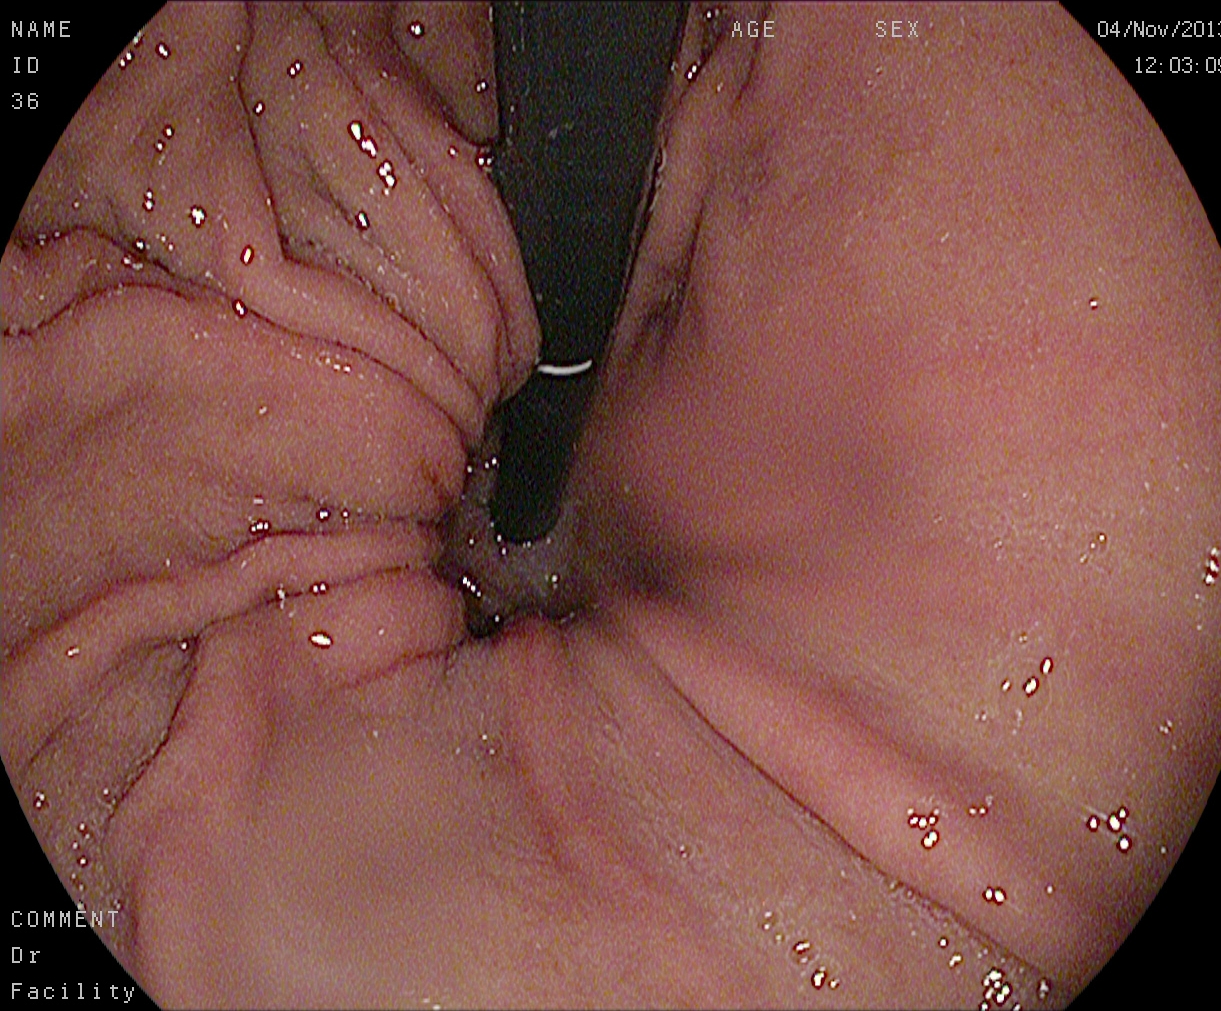Gastroscopy — stomach in retroflexion.